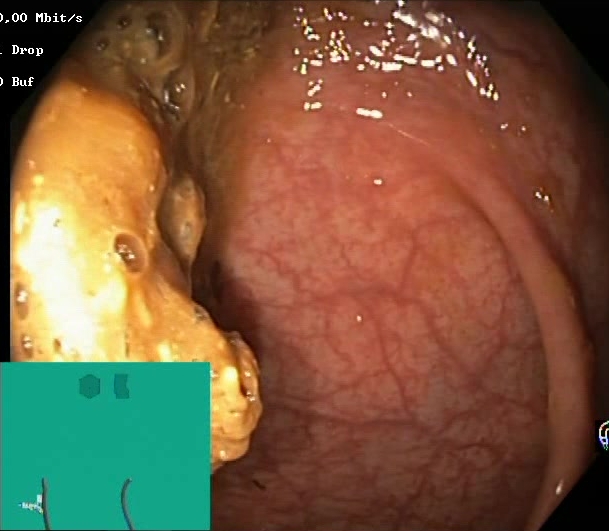Boston Bowel Preparation Scale score 0–1 (inadequate preparation).